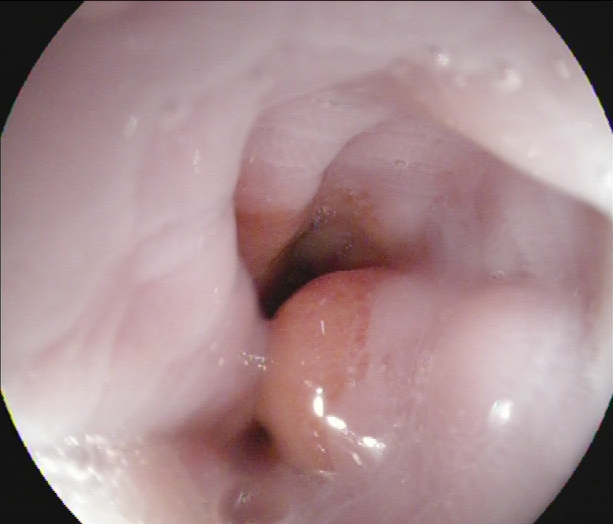PROCEDURE: Esophagogastroduodenoscopy.
FINDINGS: Z-line (gastroesophageal junction).